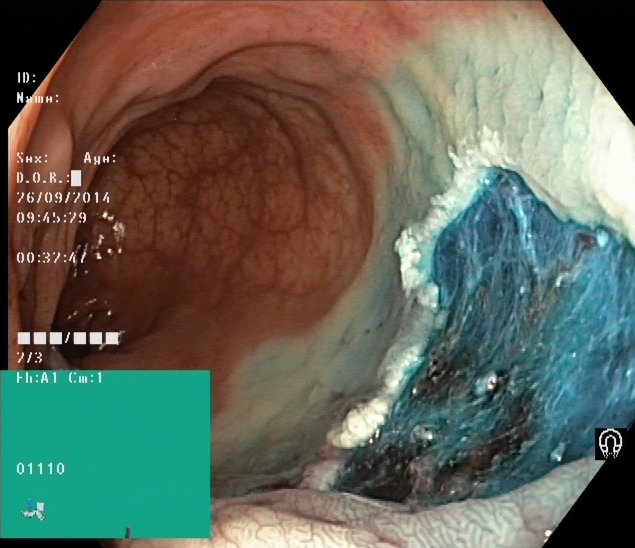dyed resection margins (post-polypectomy).